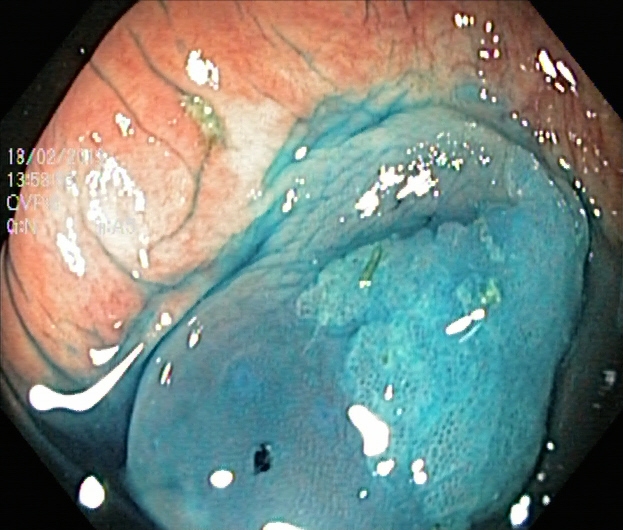Colonoscopy — dyed and lifted polyp (pre-resection).